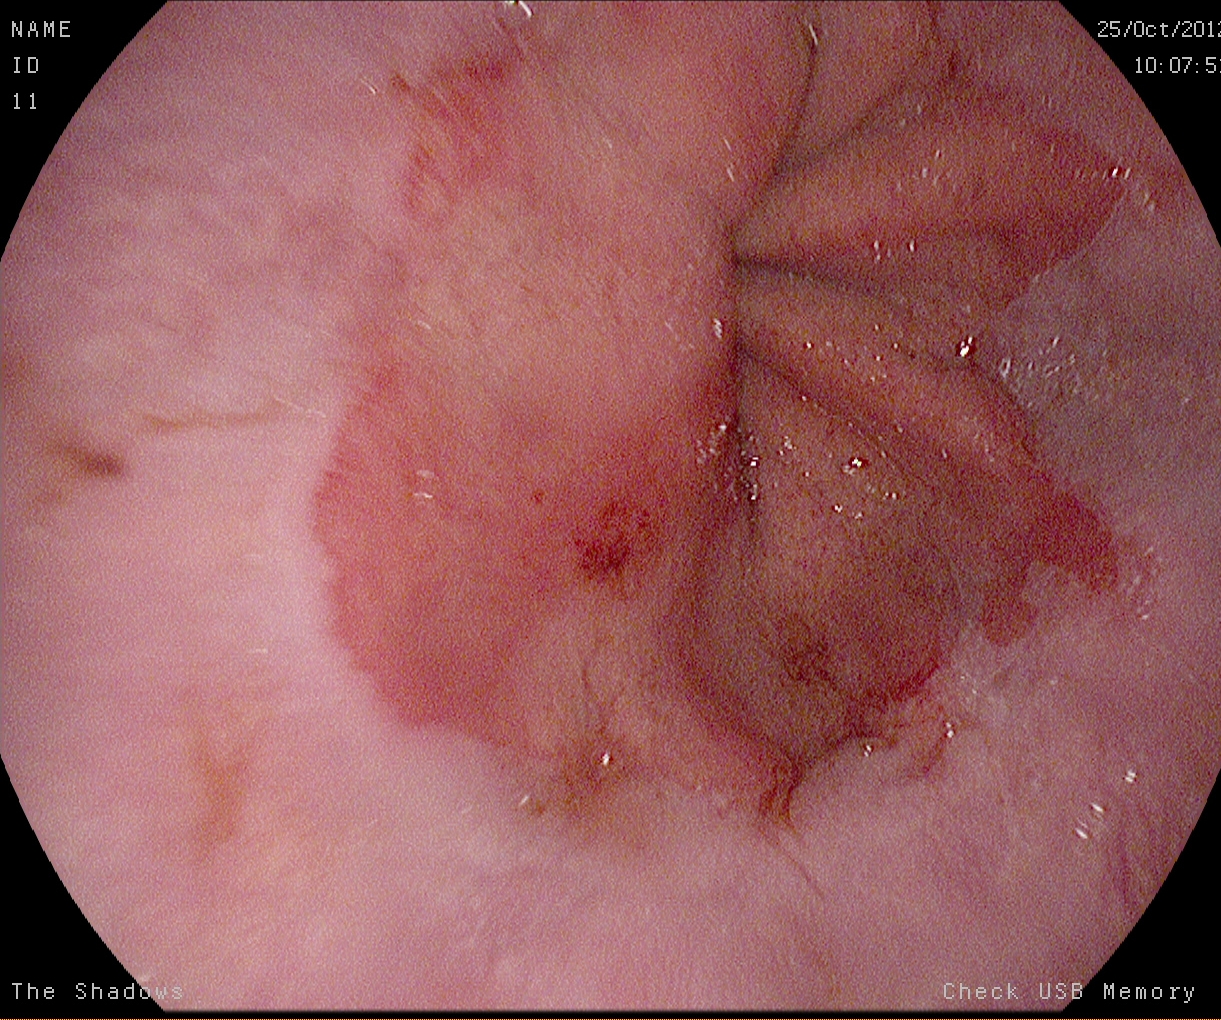Z-line (gastroesophageal junction).